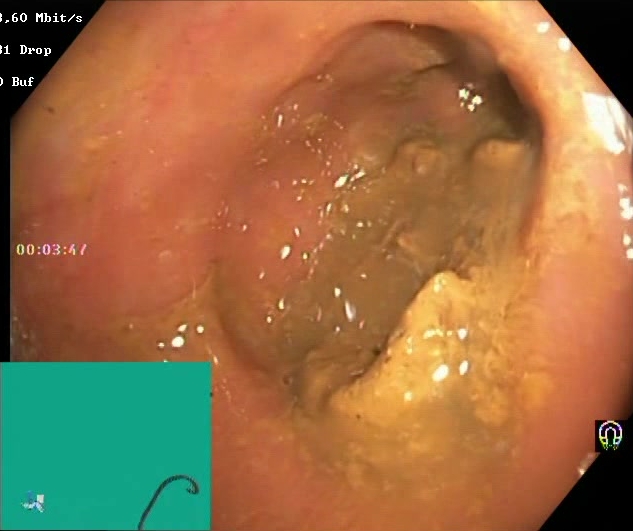This endoscopy frame of the lower GI tract shows BBPS score 0–1 (inadequate preparation).